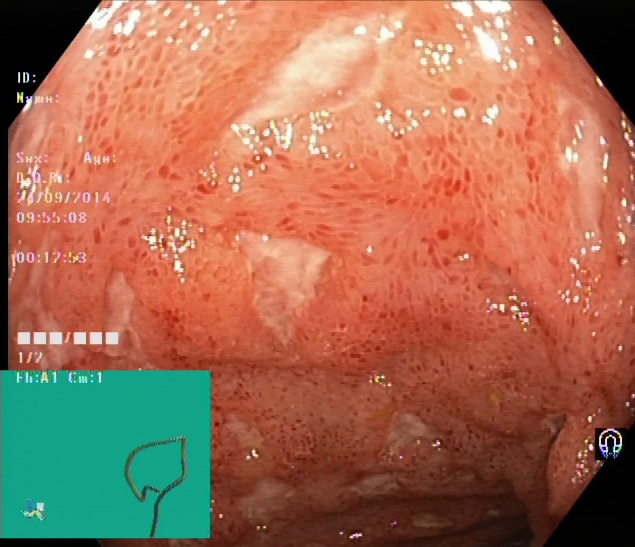PROCEDURE: Lower gastrointestinal endoscopy.
FINDINGS: Ulcerative colitis, Mayo endoscopic subscore 3.